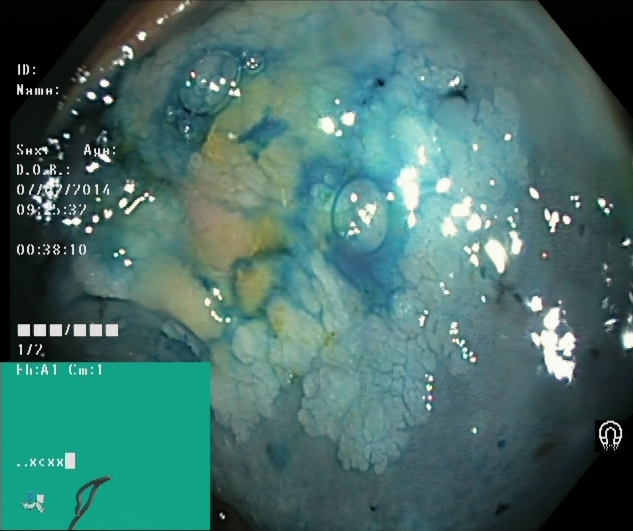PROCEDURE: Lower gastrointestinal endoscopy.
FINDINGS: Dyed and lifted polyp (pre-resection).